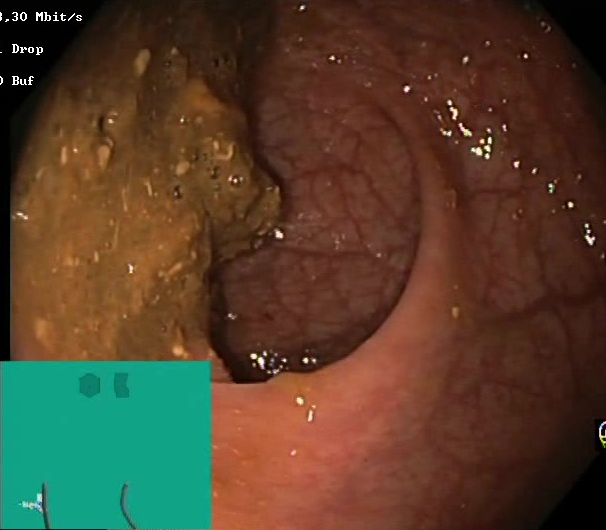Lower-GI endoscopy. Tract: lower GI tract. Mucosal-view quality. Finding: Boston Bowel Preparation Scale score 0–1 (inadequate preparation).